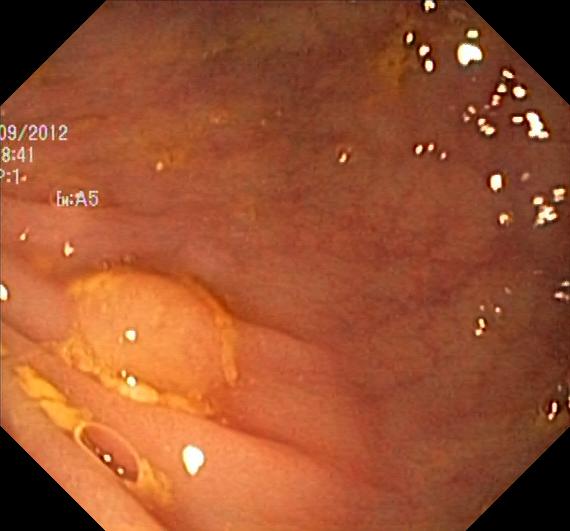This endoscopy frame shows colorectal polyp(s).